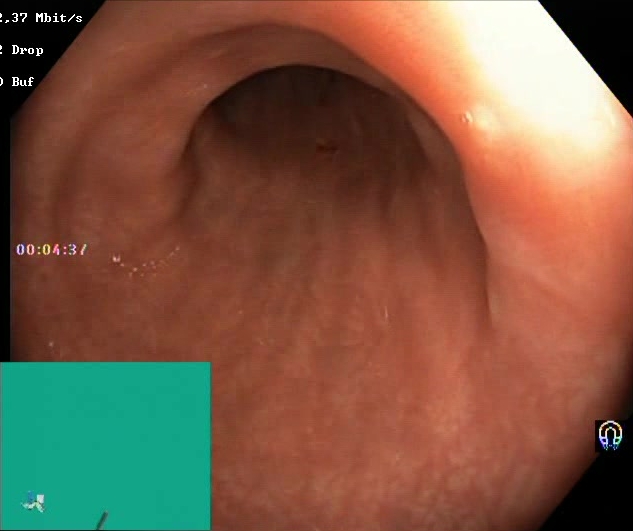BBPS score 2–3 (adequate preparation).